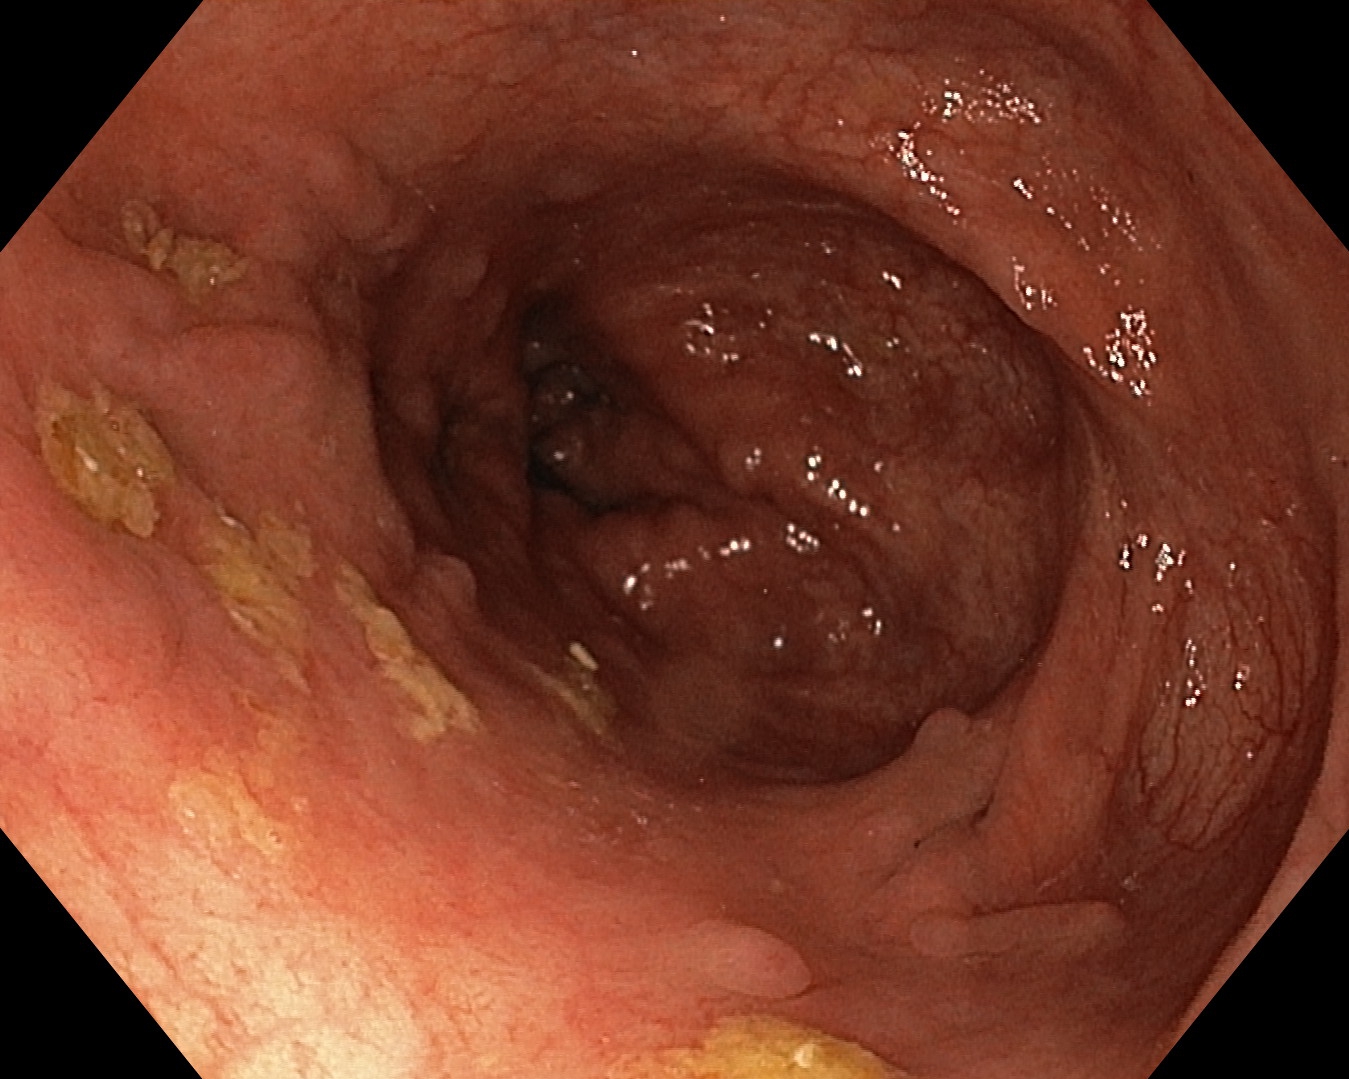Endoscopic image of the lower GI tract showing UC, Mayo endoscopic subscore 1.